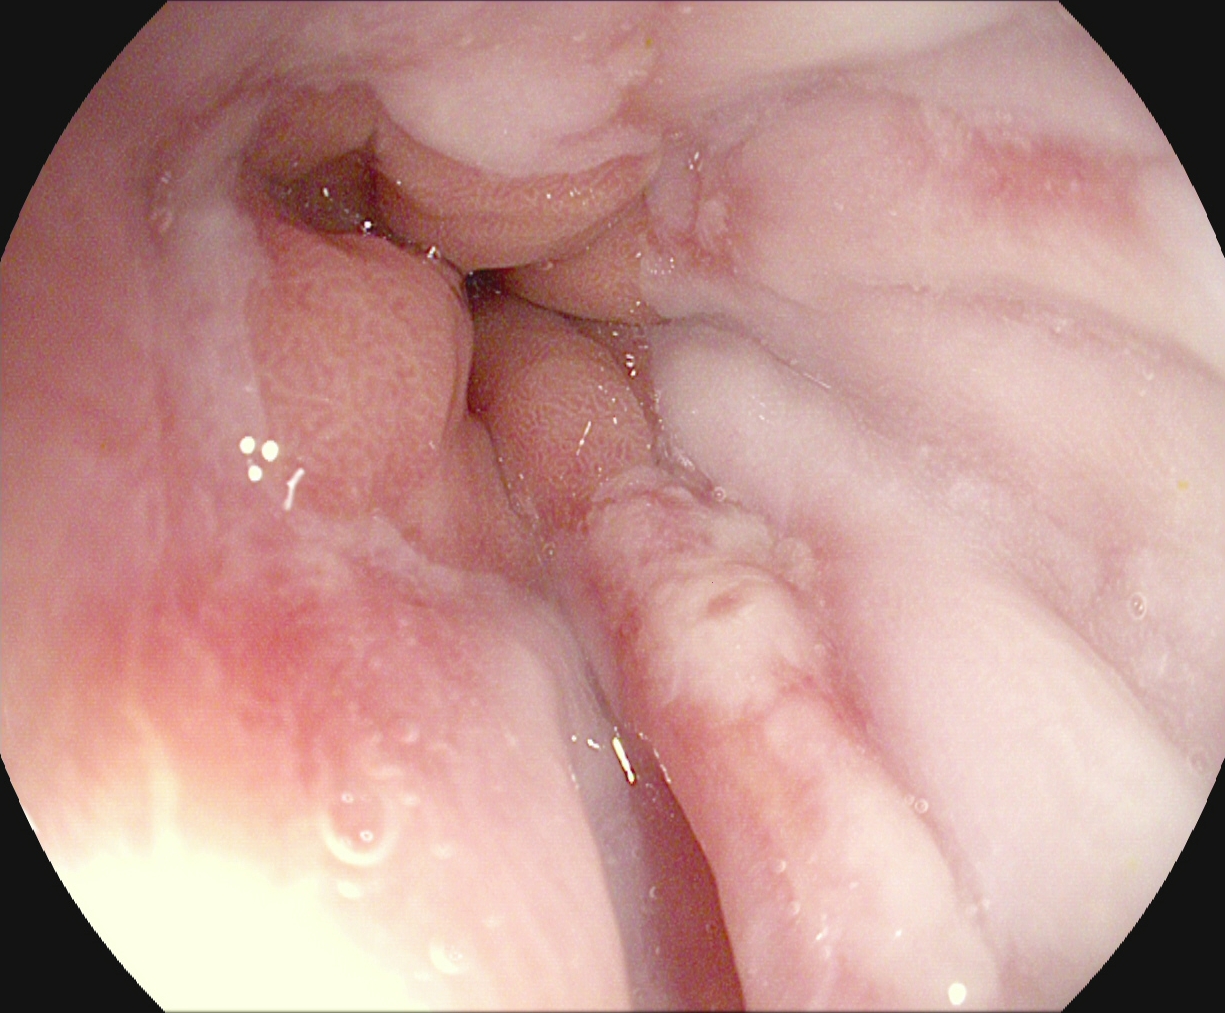PROCEDURE: EGD.
FINDINGS: Reflux esophagitis, LA grade A.